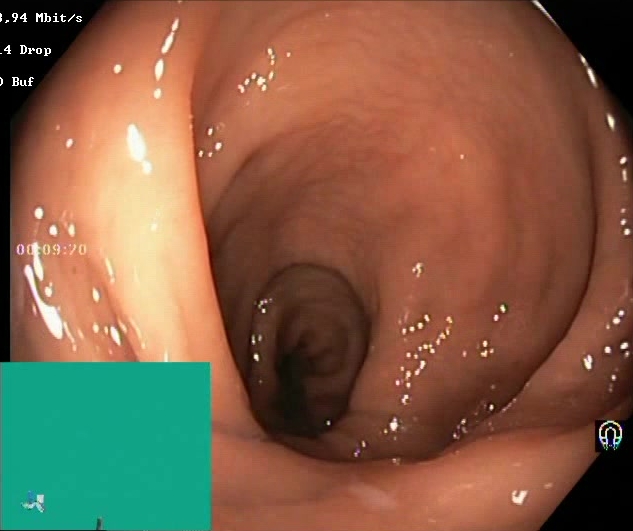{"modality": "lower-GI endoscopy", "tract": "lower GI tract", "finding": "Boston Bowel Preparation Scale score 2\u20133 (adequate preparation)"}